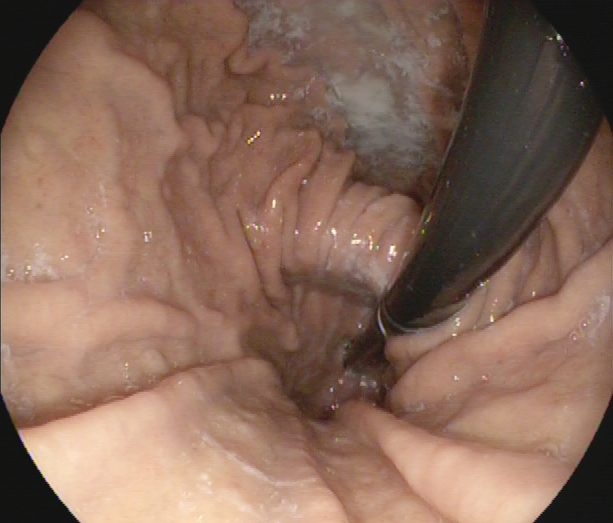EGD image of the upper GI tract showing stomach in retroflexion.